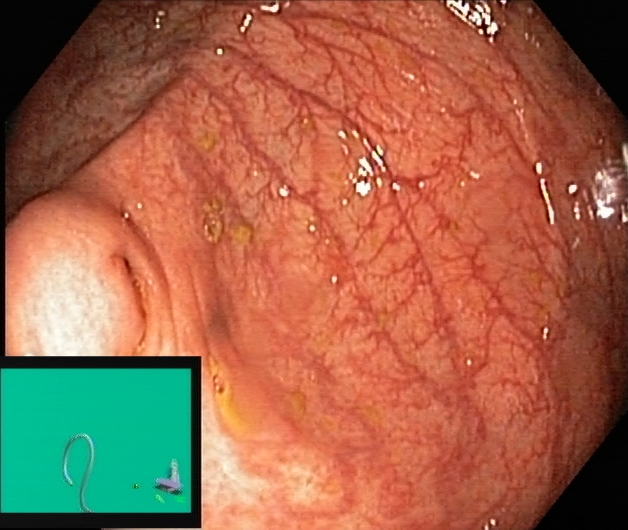PROCEDURE: Colonoscopy.
FINDINGS: Cecum.